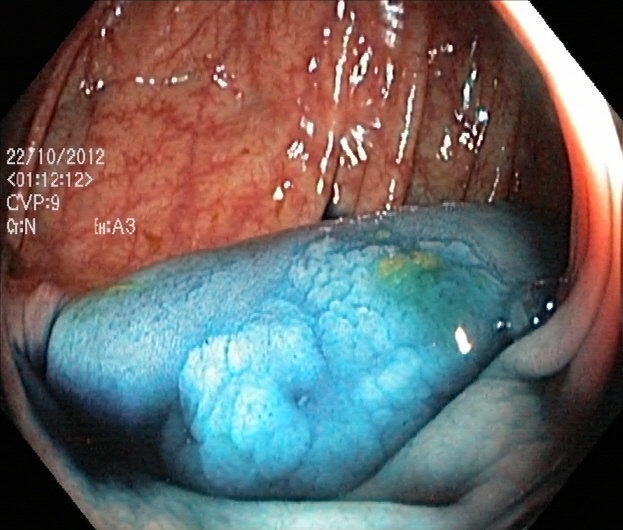Lower gastrointestinal endoscopy. Tract: lower GI tract. Finding: dyed and lifted polyp (pre-resection).